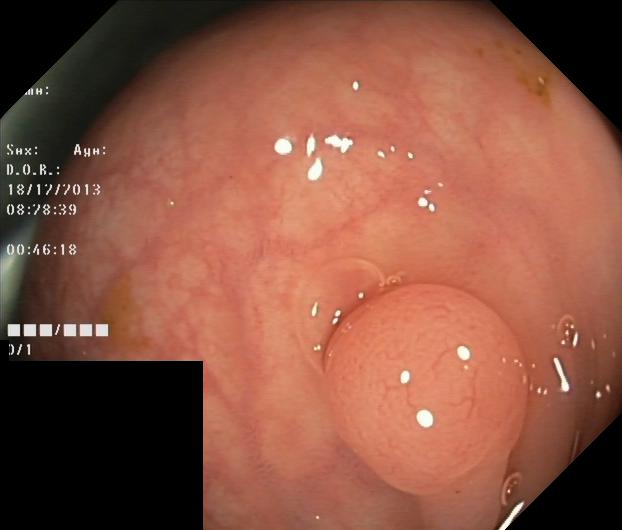PROCEDURE: Colonoscopy.
FINDINGS: Colorectal polyp(s).